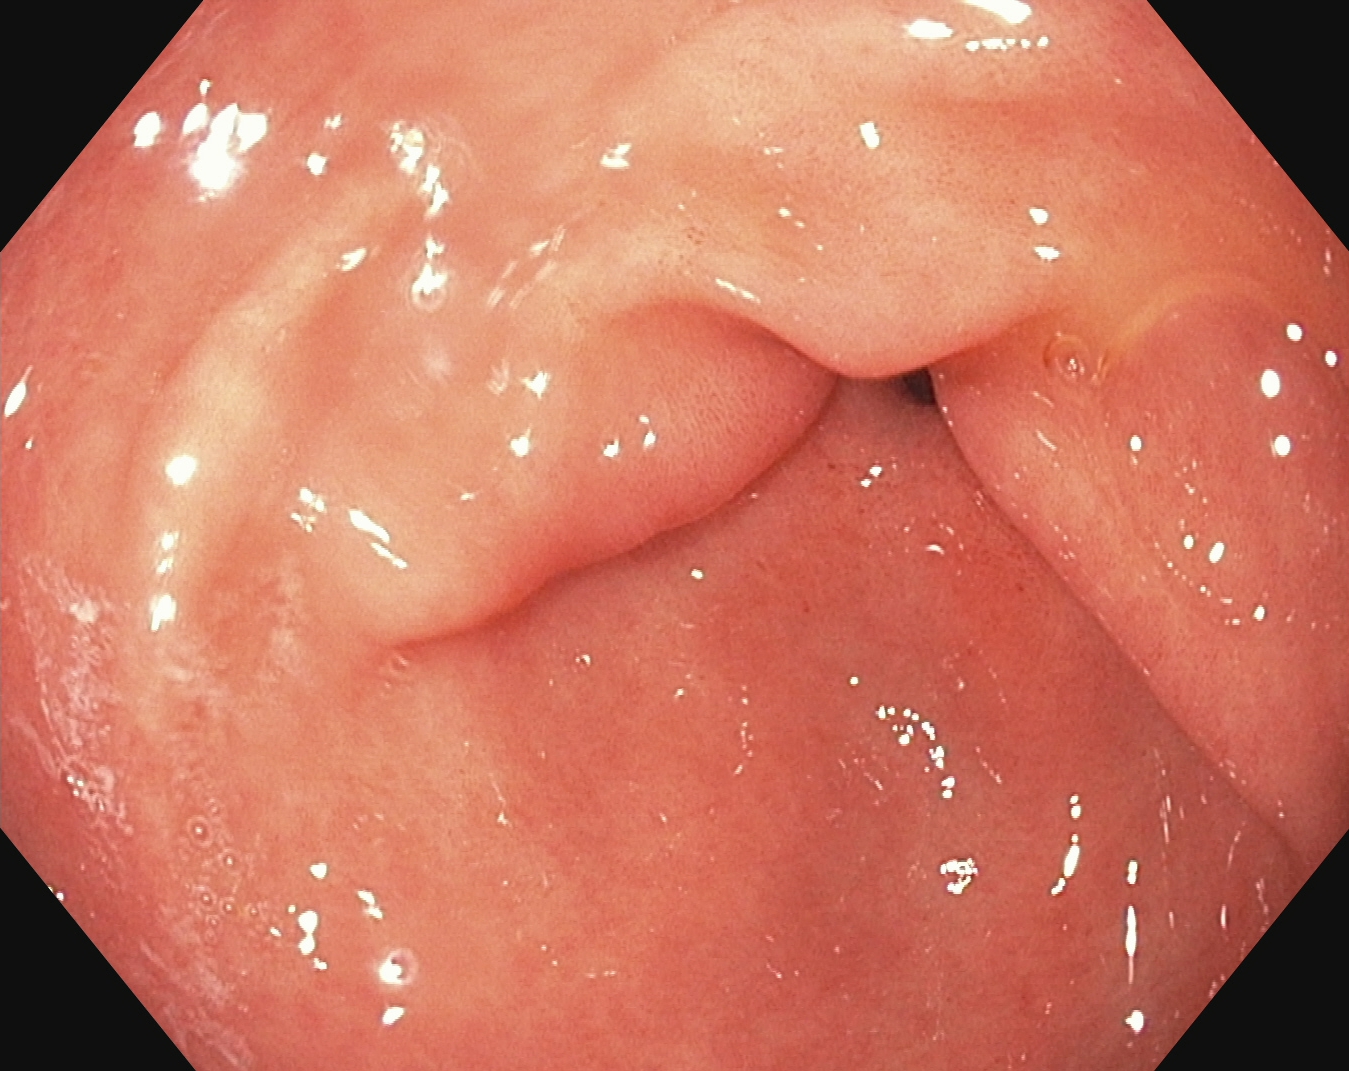GI endoscopy image showing pylorus.